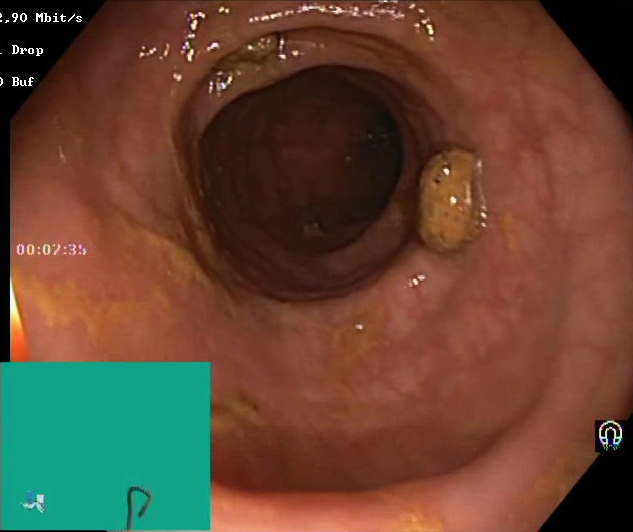{"modality": "colonoscopy", "tract": "lower GI tract", "finding": "impacted stool"}